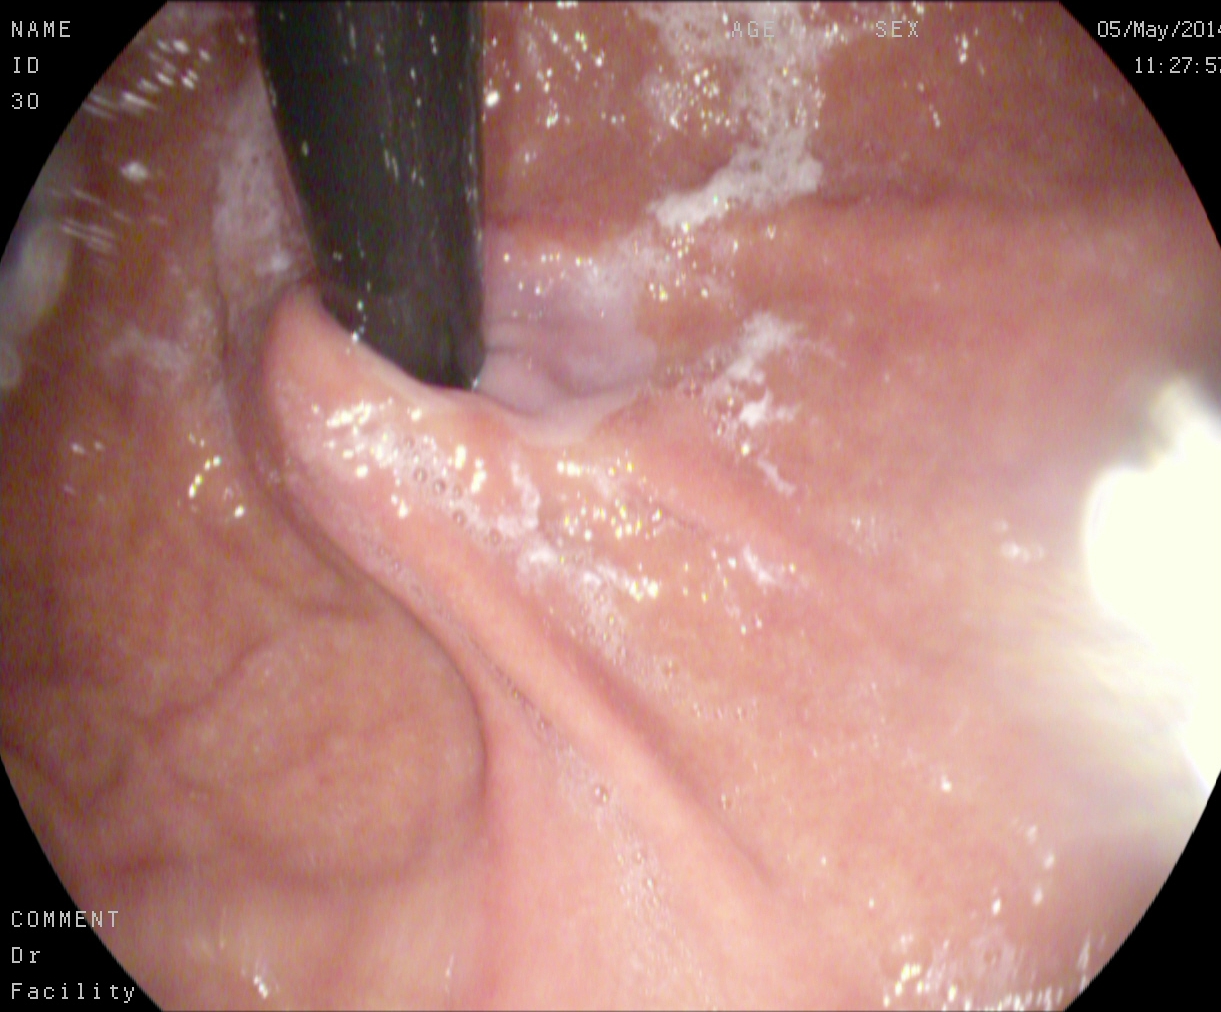This endoscopic image shows stomach in retroflexion.